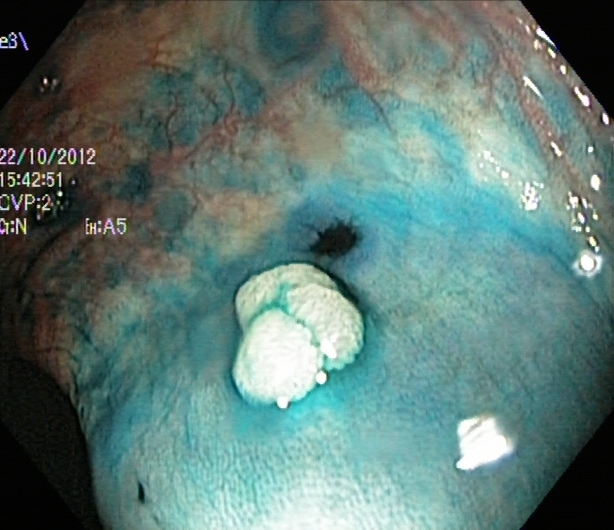PROCEDURE: Lower gastrointestinal endoscopy.
FINDINGS: Dyed and lifted polyp (pre-resection).